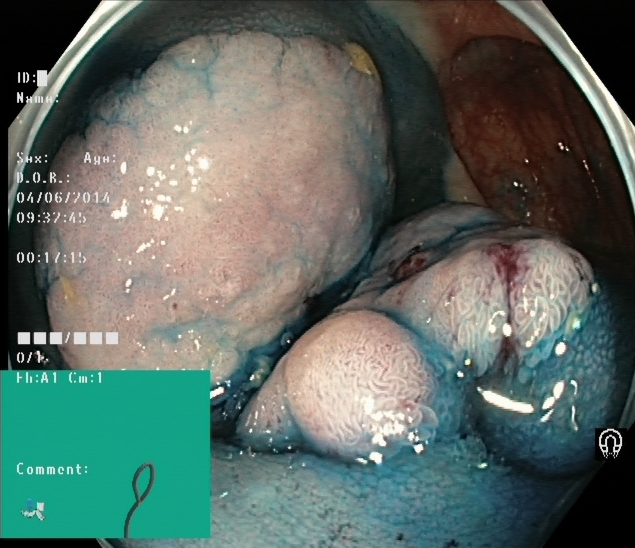PROCEDURE: Lower-GI endoscopy.
FINDINGS: Dyed and lifted polyp (pre-resection).